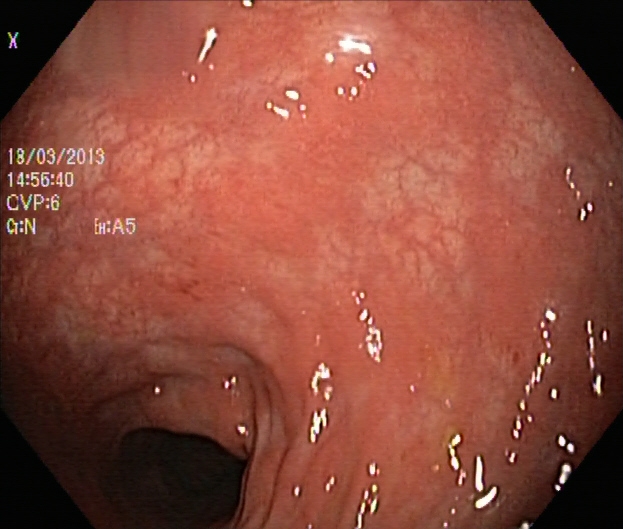{"modality": "colonoscopy", "tract": "lower GI tract", "category": "pathological finding", "finding": "ulcerative colitis, Mayo endoscopic subscore 1"}